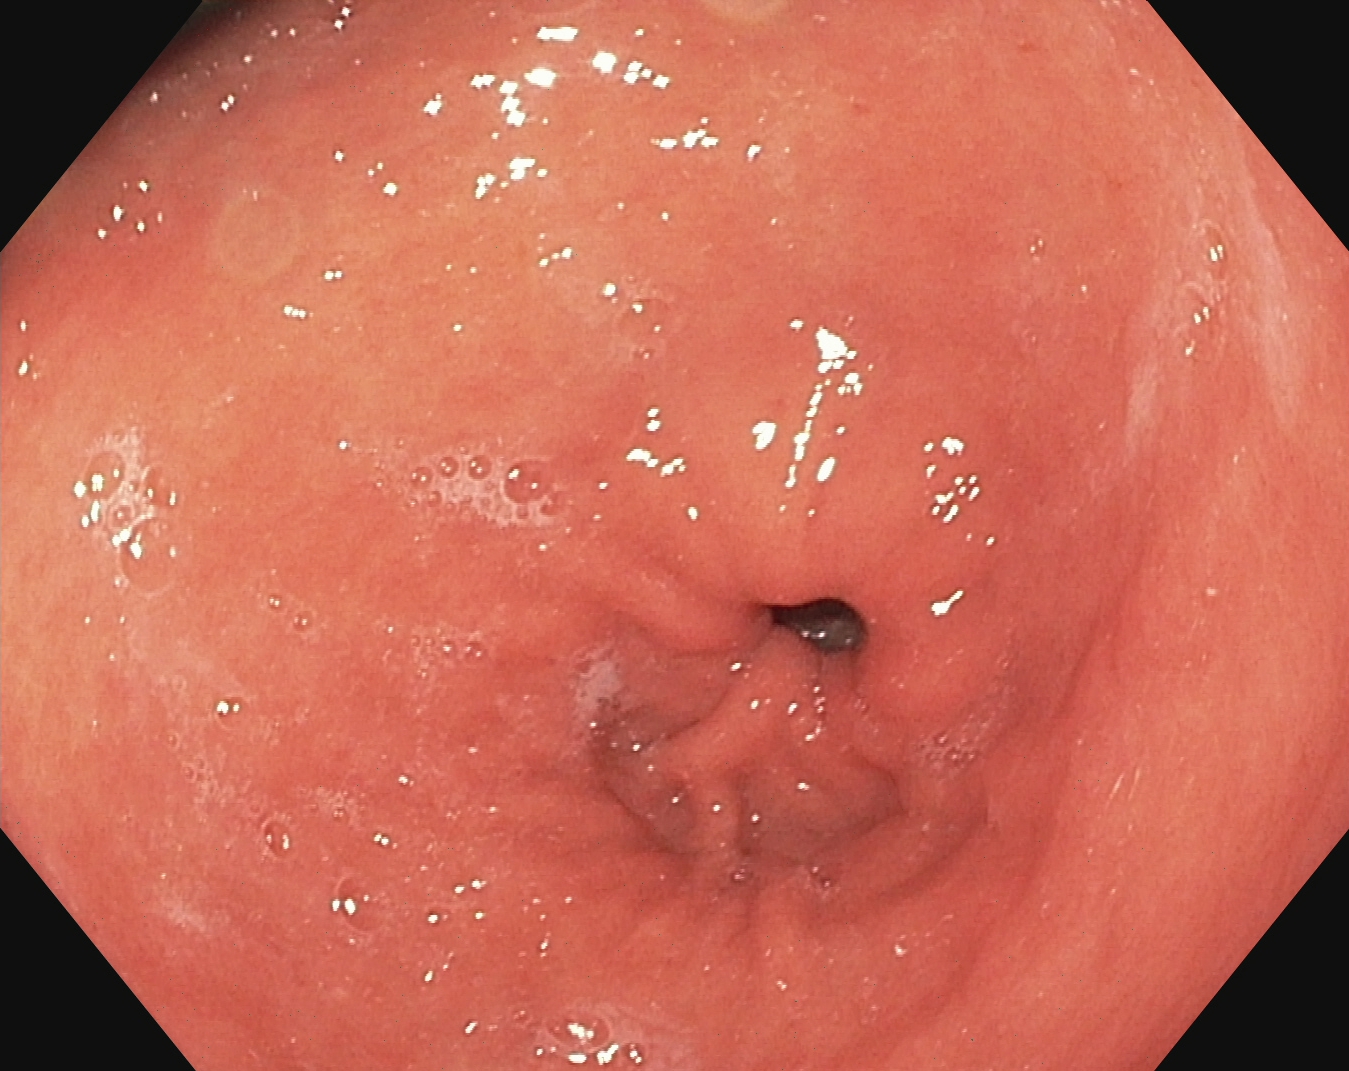modality: EGD | tract: upper GI tract | finding: pylorus